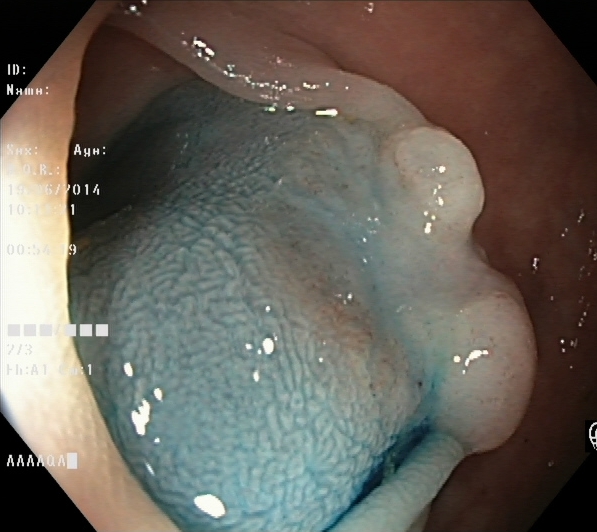modality: lower gastrointestinal endoscopy; tract: lower GI tract; category: therapeutic intervention; finding: dyed and lifted polyp (pre-resection)